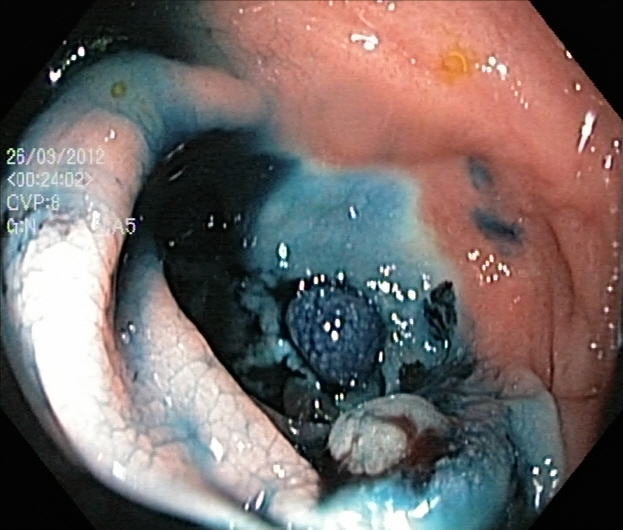Lower-GI endoscopy — dyed and lifted polyp (pre-resection).